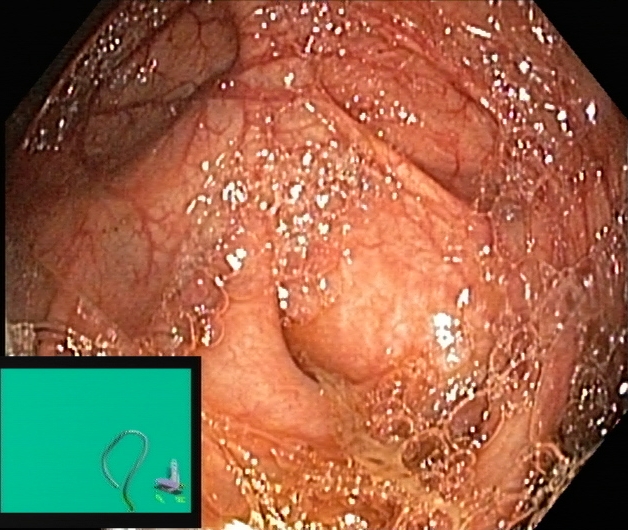Gastrointestinal endoscopy image of the lower GI tract showing cecum.